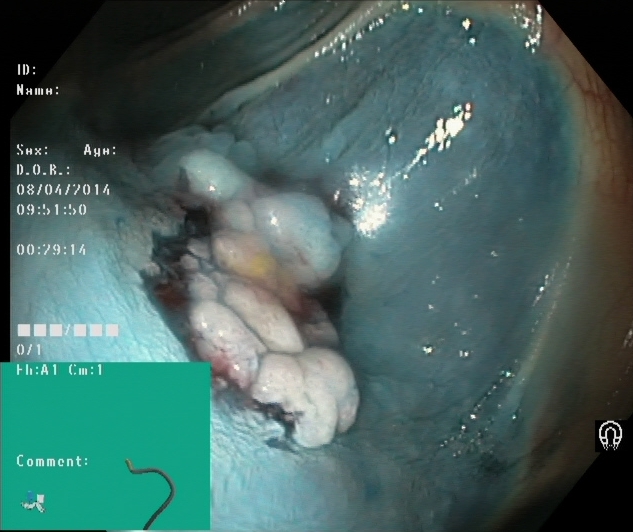PROCEDURE: Lower gastrointestinal endoscopy.
FINDINGS: Dyed and lifted polyp (pre-resection).